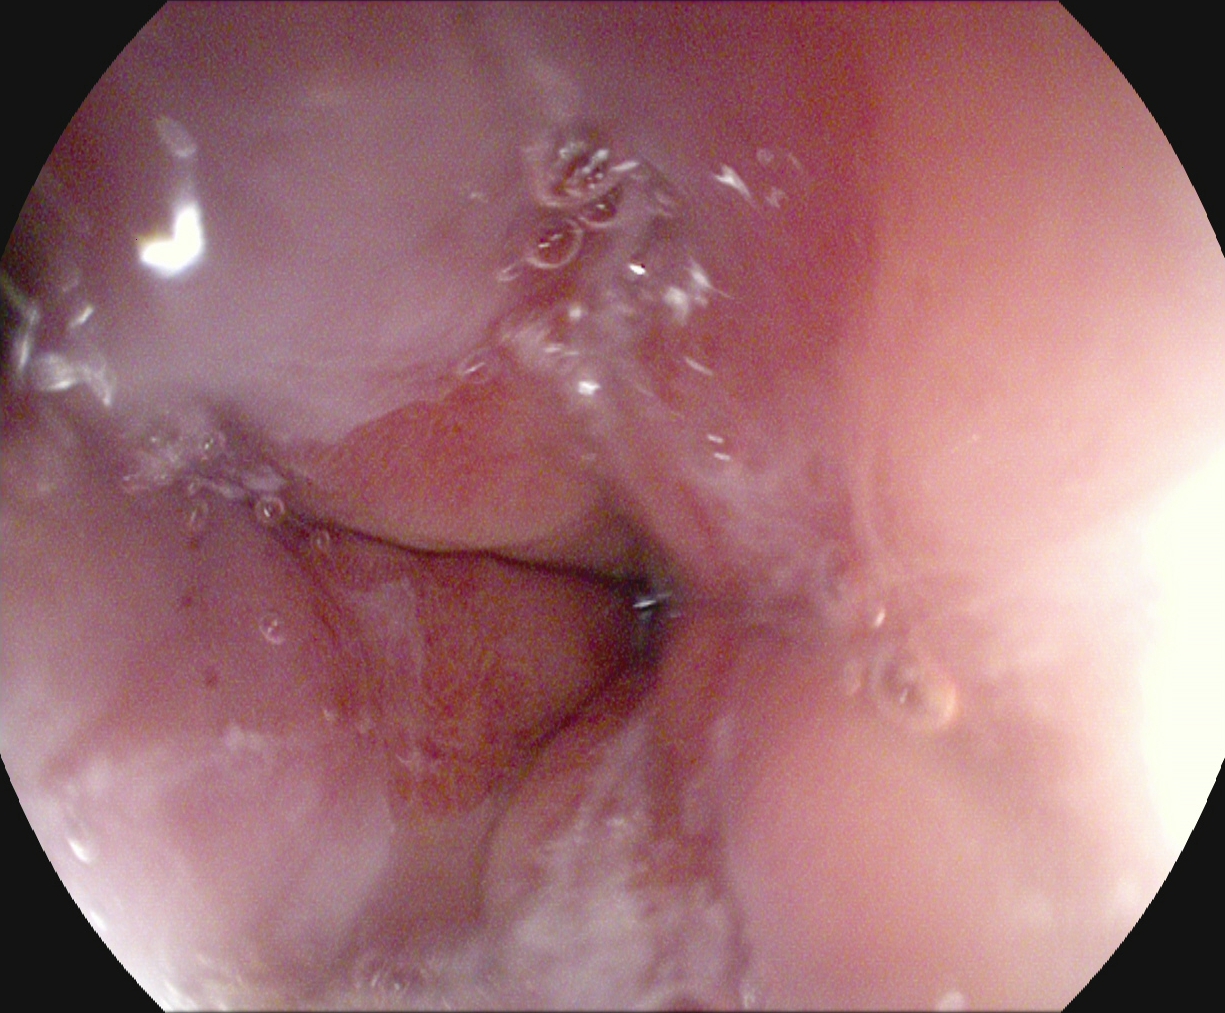Upper-GI endoscopy — reflux esophagitis, Los Angeles grade A.